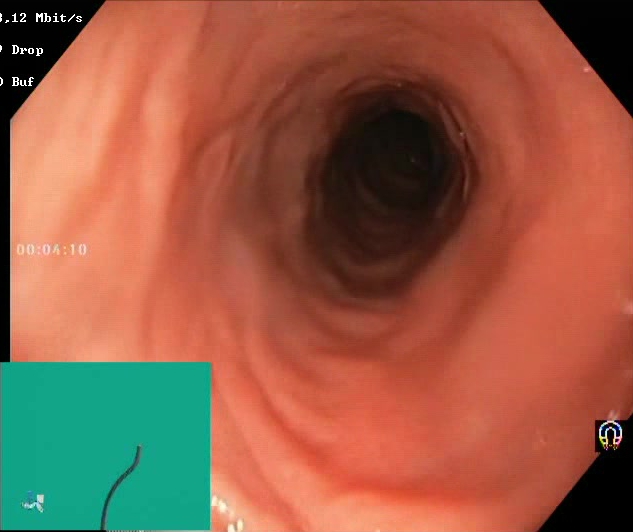modality: lower-GI endoscopy | tract: lower GI tract | category: mucosal-view quality | finding: BBPS score 2–3 (adequate preparation)